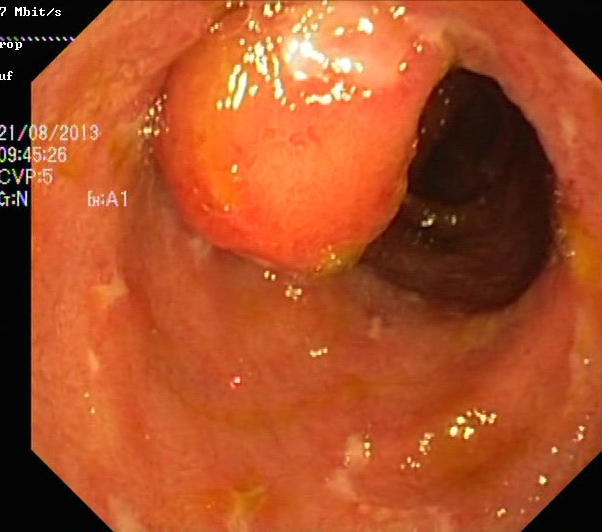This endoscopic image shows colorectal polyp(s).